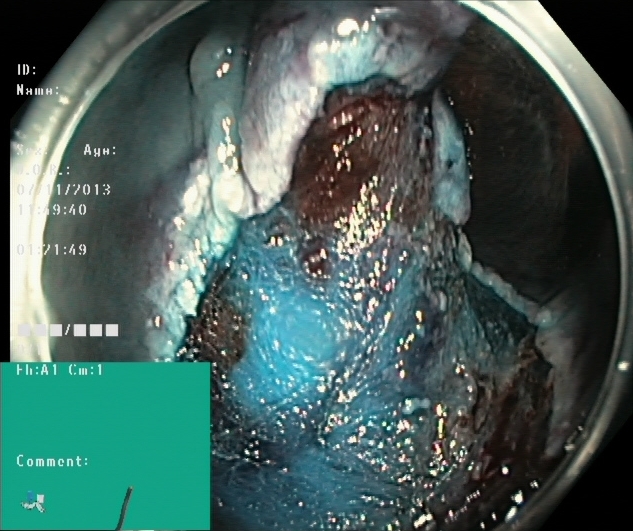Lower-GI endoscopy — dyed resection margins (post-polypectomy).